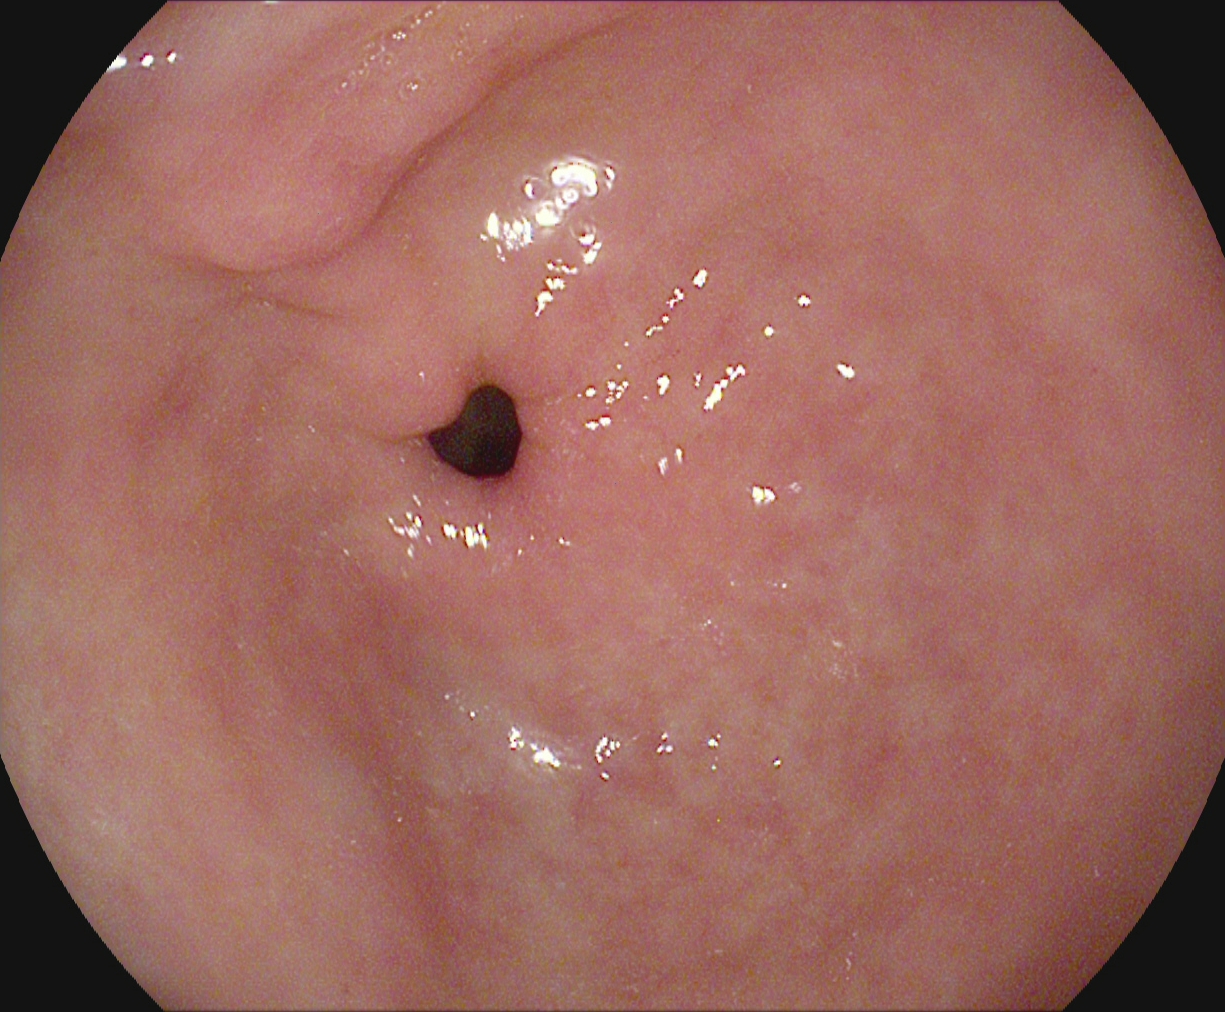Gastroscopy image of the upper GI tract showing pylorus.